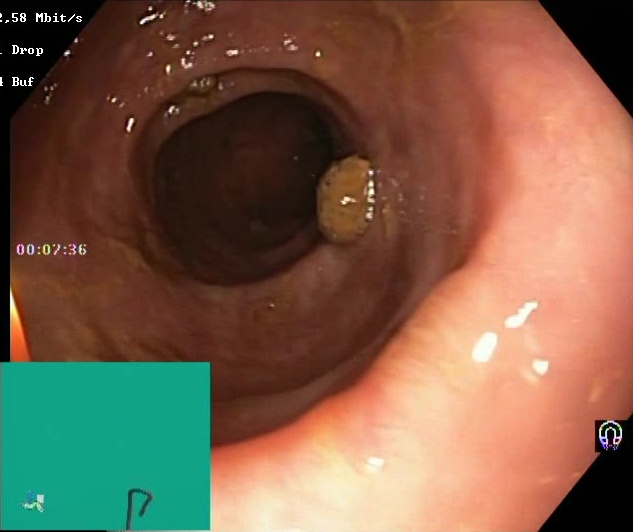BBPS score 2–3 (adequate preparation).